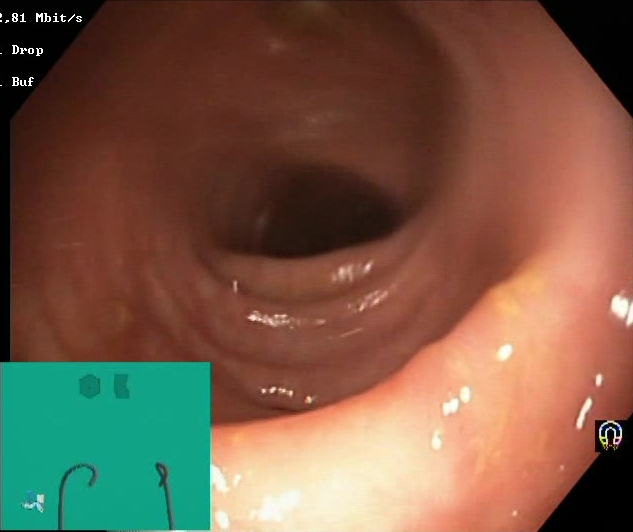This endoscopy frame of the lower GI tract shows BBPS score 2–3 (adequate preparation).